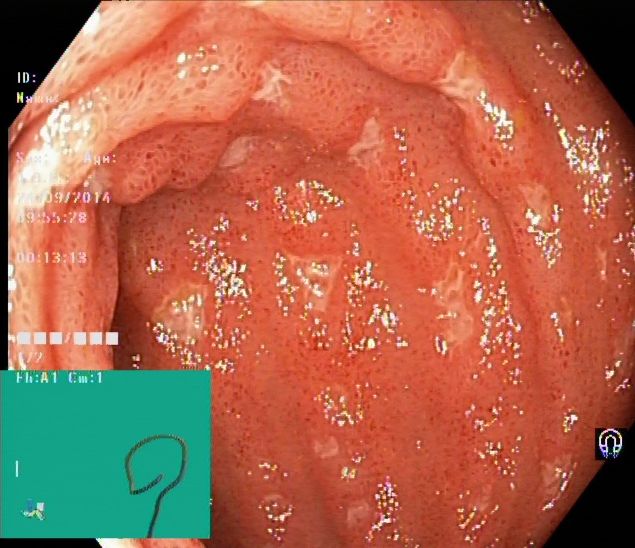Gastrointestinal endoscopy image showing terminal ileum.